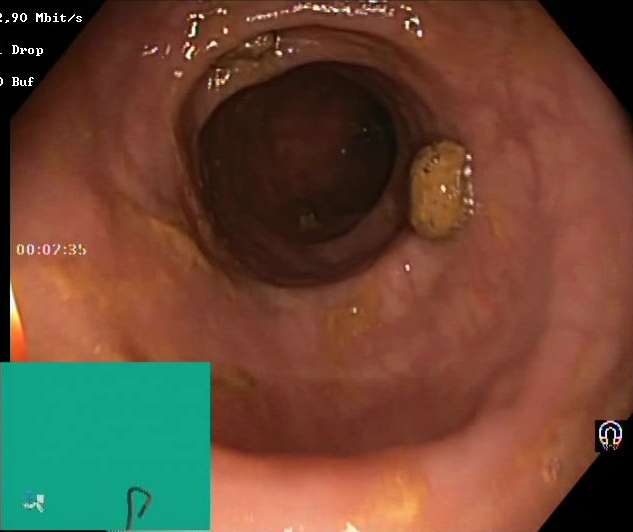PROCEDURE: Lower gastrointestinal endoscopy.
CATEGORY: Mucosal-view quality.
FINDINGS: Boston Bowel Preparation Scale score 2–3 (adequate preparation).